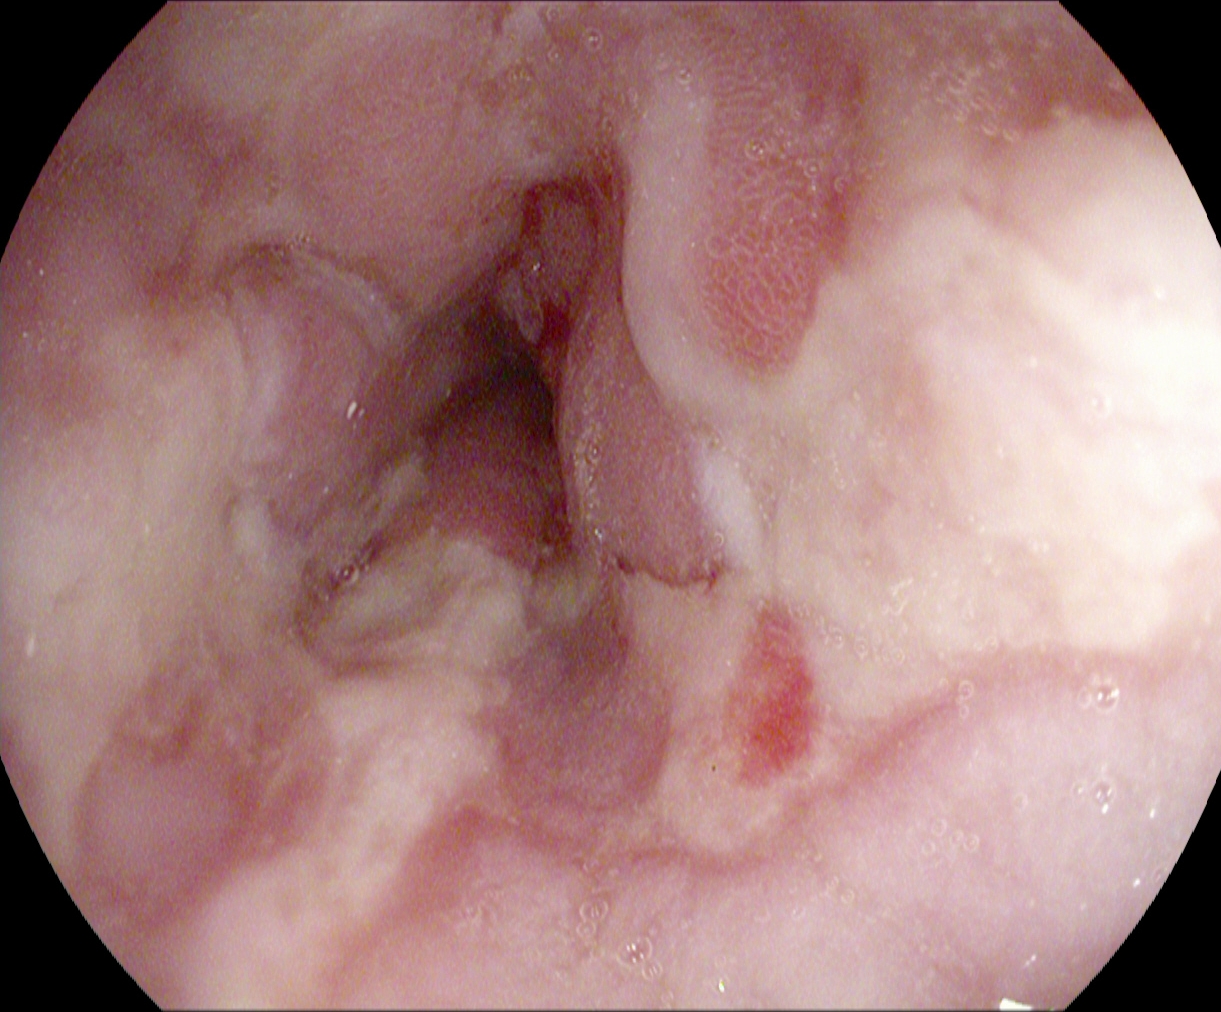Upper-GI endoscopy. Tract: upper GI tract. Pathological finding. Finding: reflux esophagitis, LA grade B–D.